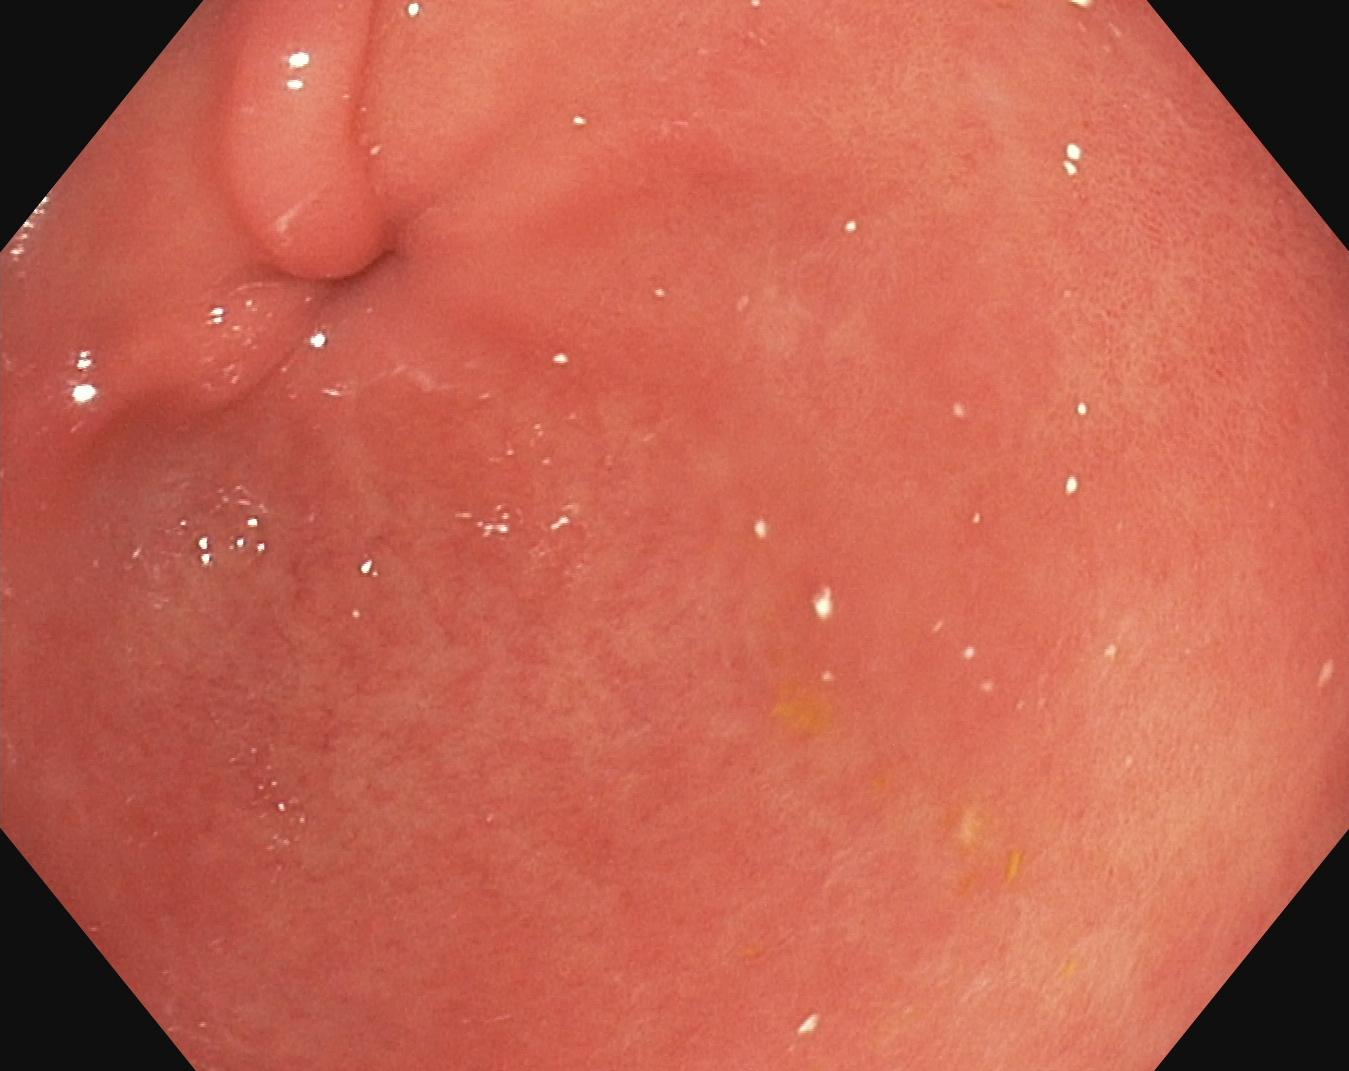Endoscopic image of the upper GI tract showing pylorus.